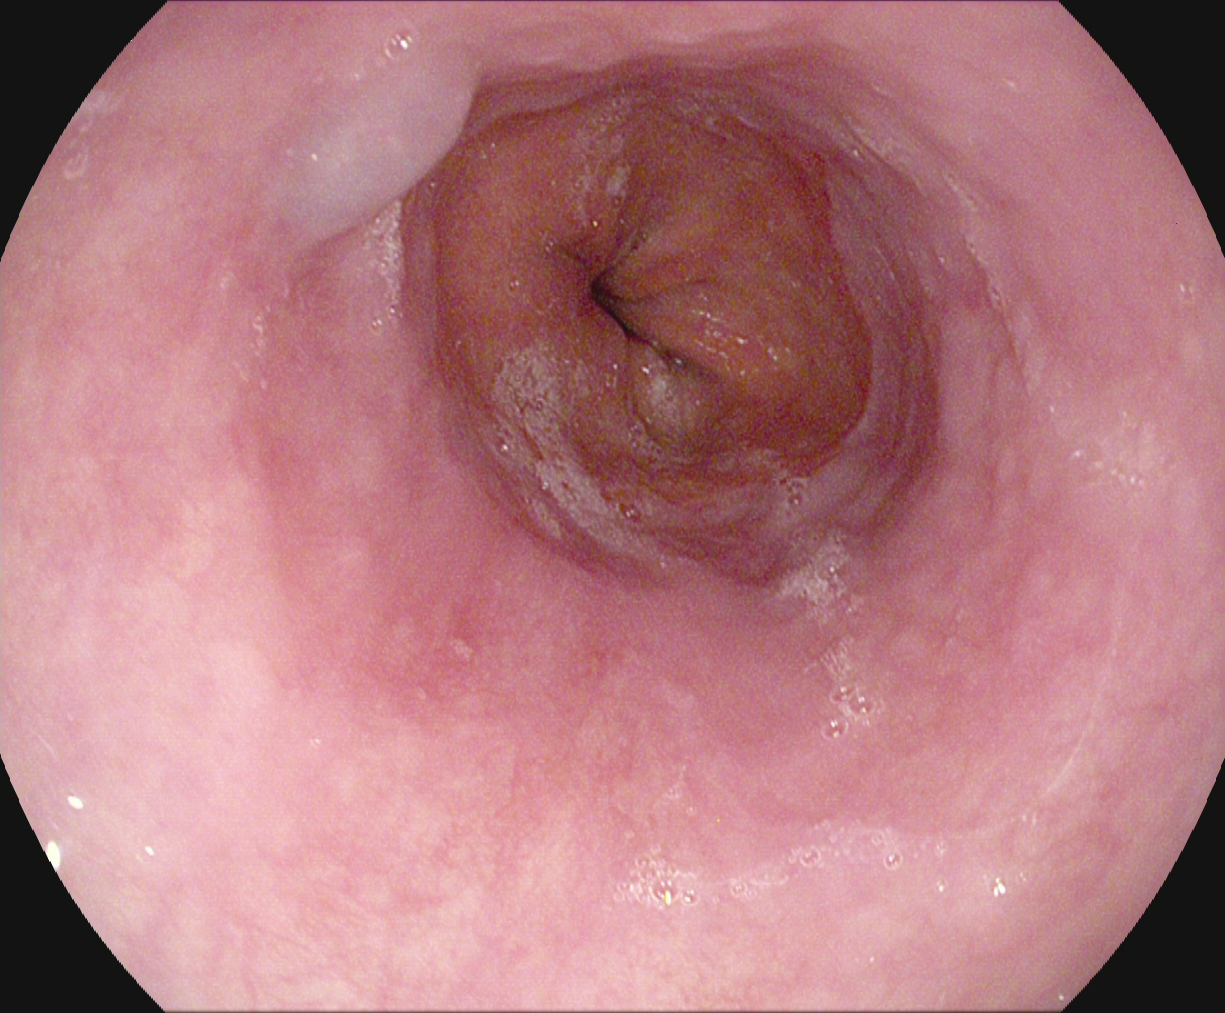PROCEDURE: Upper-GI endoscopy.
FINDINGS: Z-line (gastroesophageal junction).